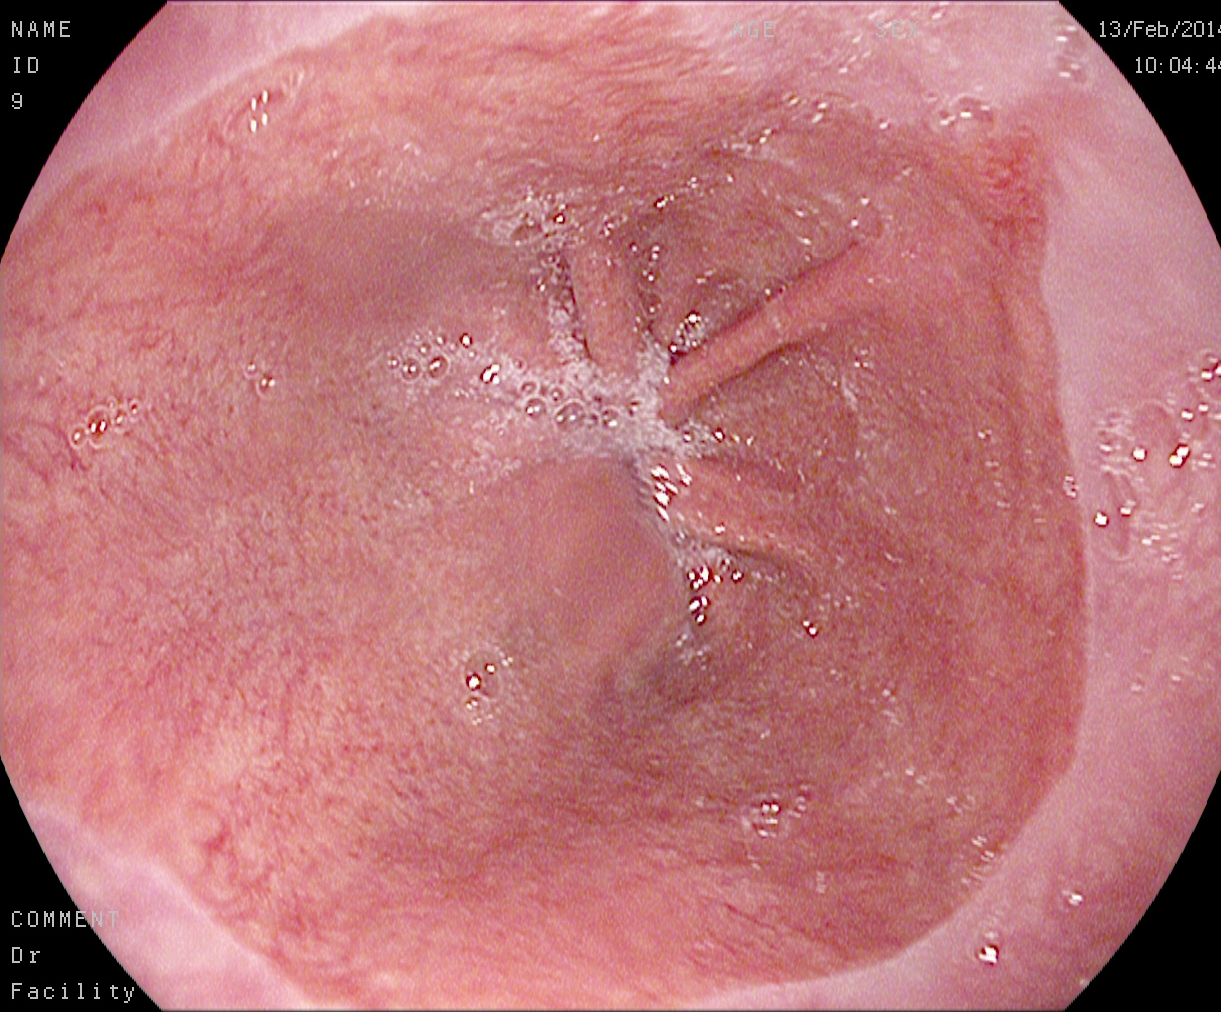PROCEDURE: Esophagogastroduodenoscopy.
FINDINGS: Barrett's esophagus.